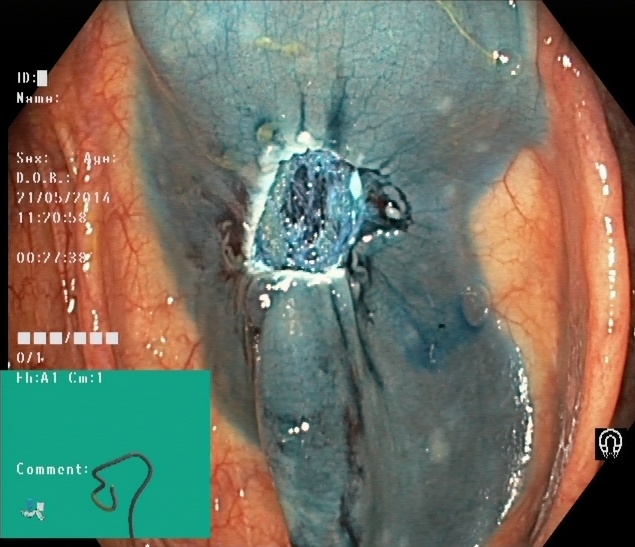Dyed resection margins (post-polypectomy).